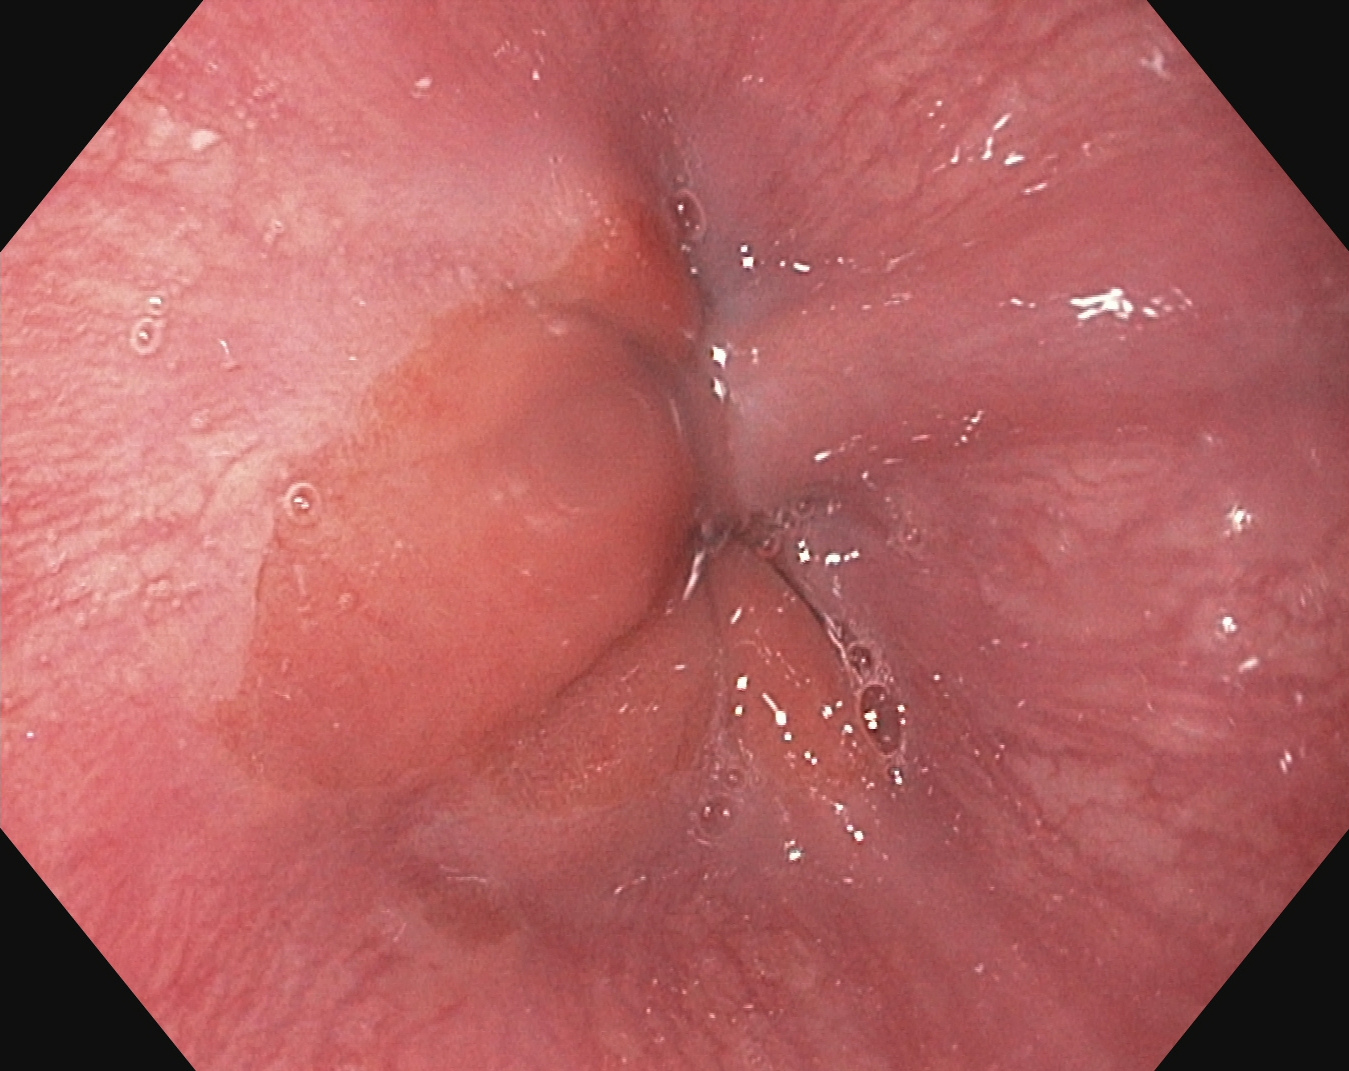modality: esophagogastroduodenoscopy | tract: upper GI tract | finding: Z-line (gastroesophageal junction)